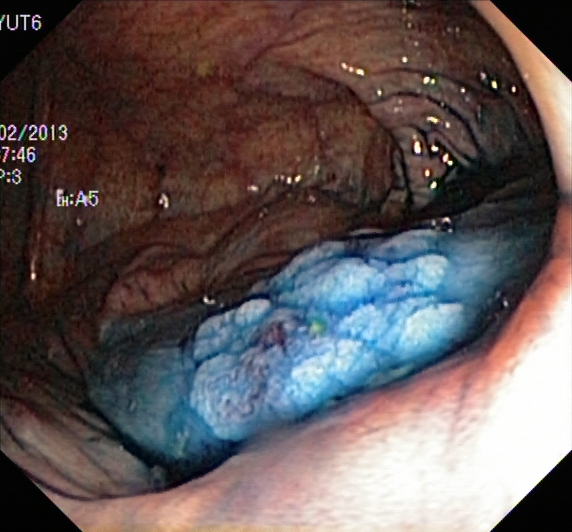modality: lower-GI endoscopy; tract: lower GI tract; category: therapeutic intervention; finding: dyed and lifted polyp (pre-resection)